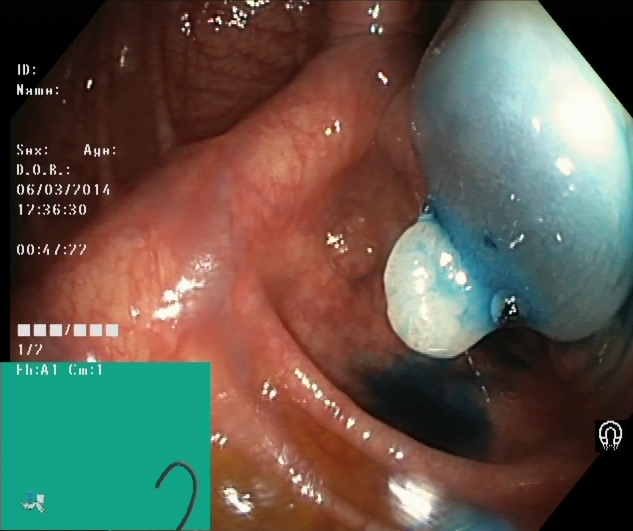modality: lower gastrointestinal endoscopy | tract: lower GI tract | finding: dyed and lifted polyp (pre-resection)